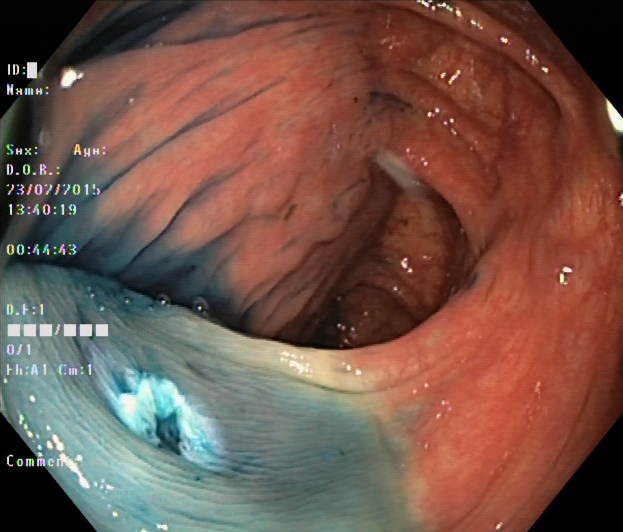Dyed resection margins (post-polypectomy).